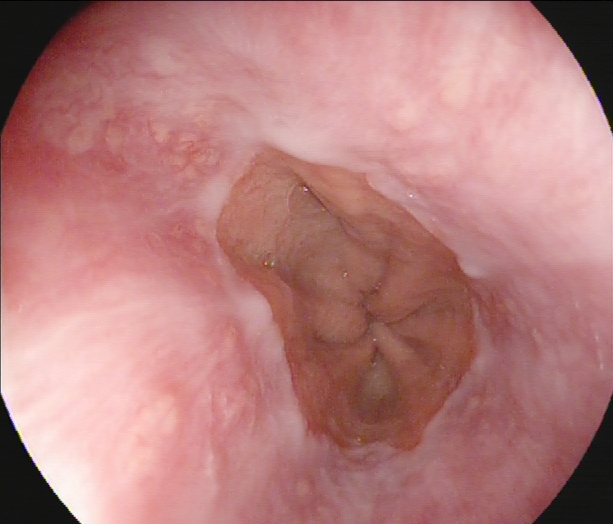Gastroscopy. Tract: upper GI tract. Finding: Z-line (gastroesophageal junction).